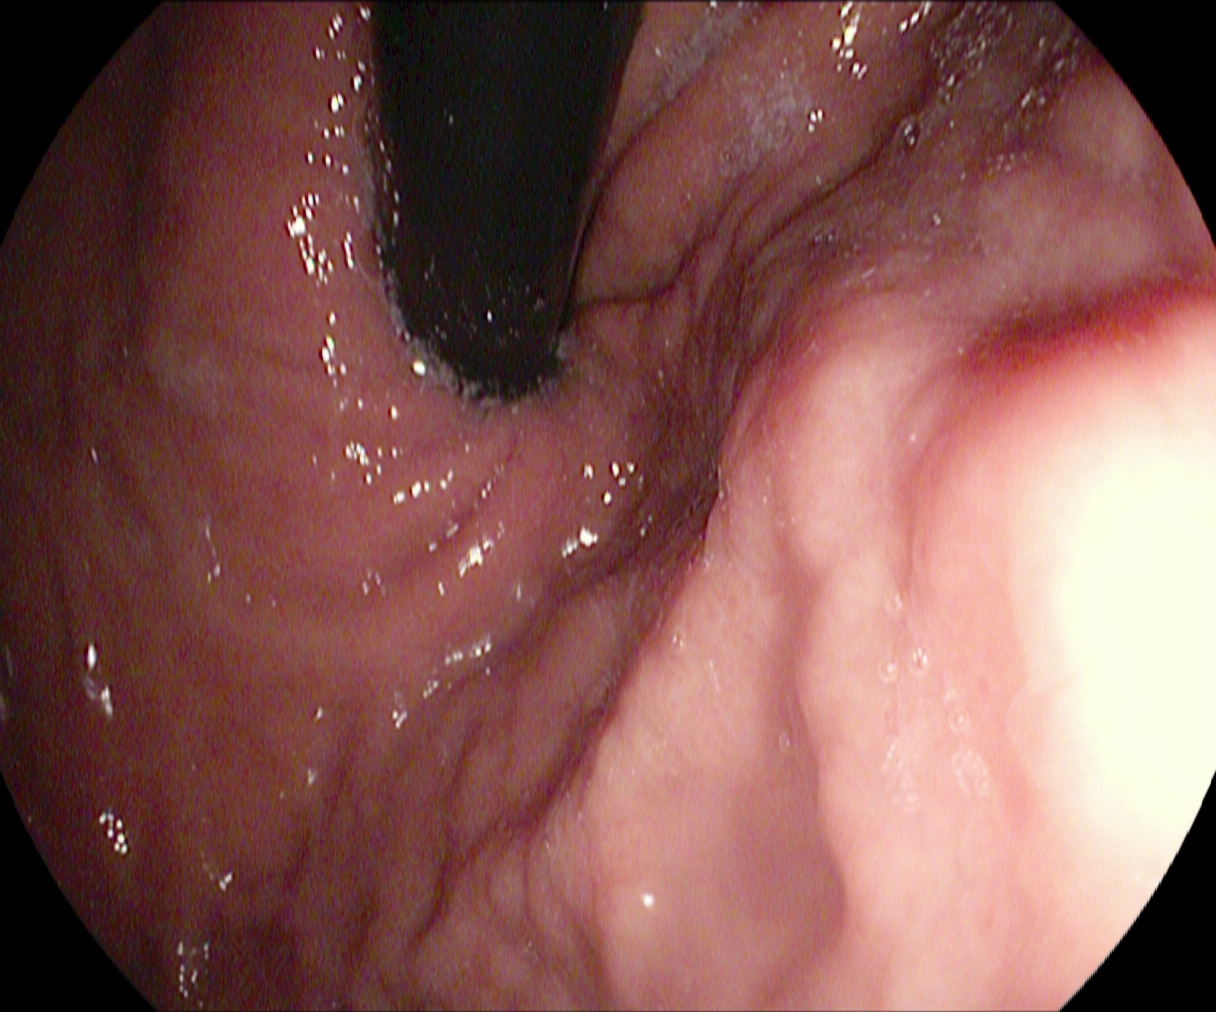Stomach in retroflexion.